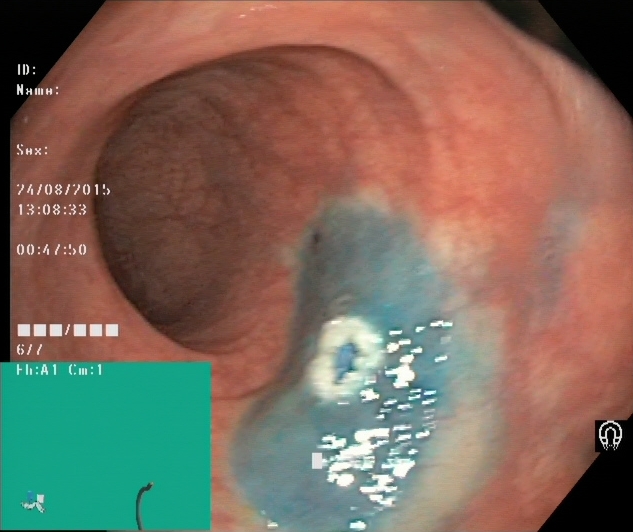Lower-GI endoscopy — dyed resection margins (post-polypectomy).